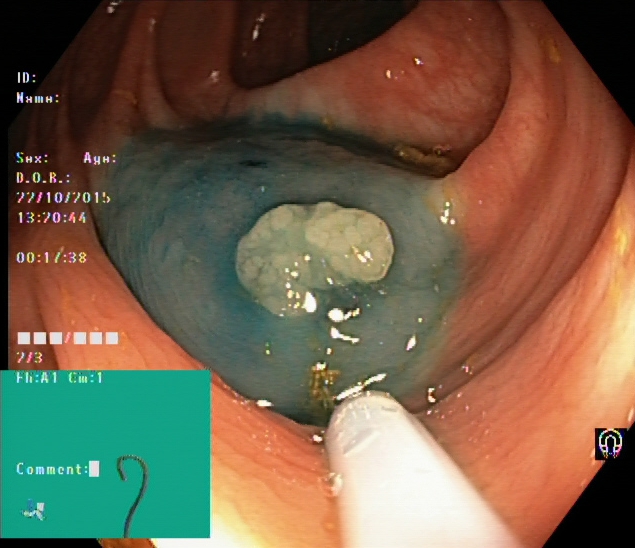Dyed and lifted polyp (pre-resection).